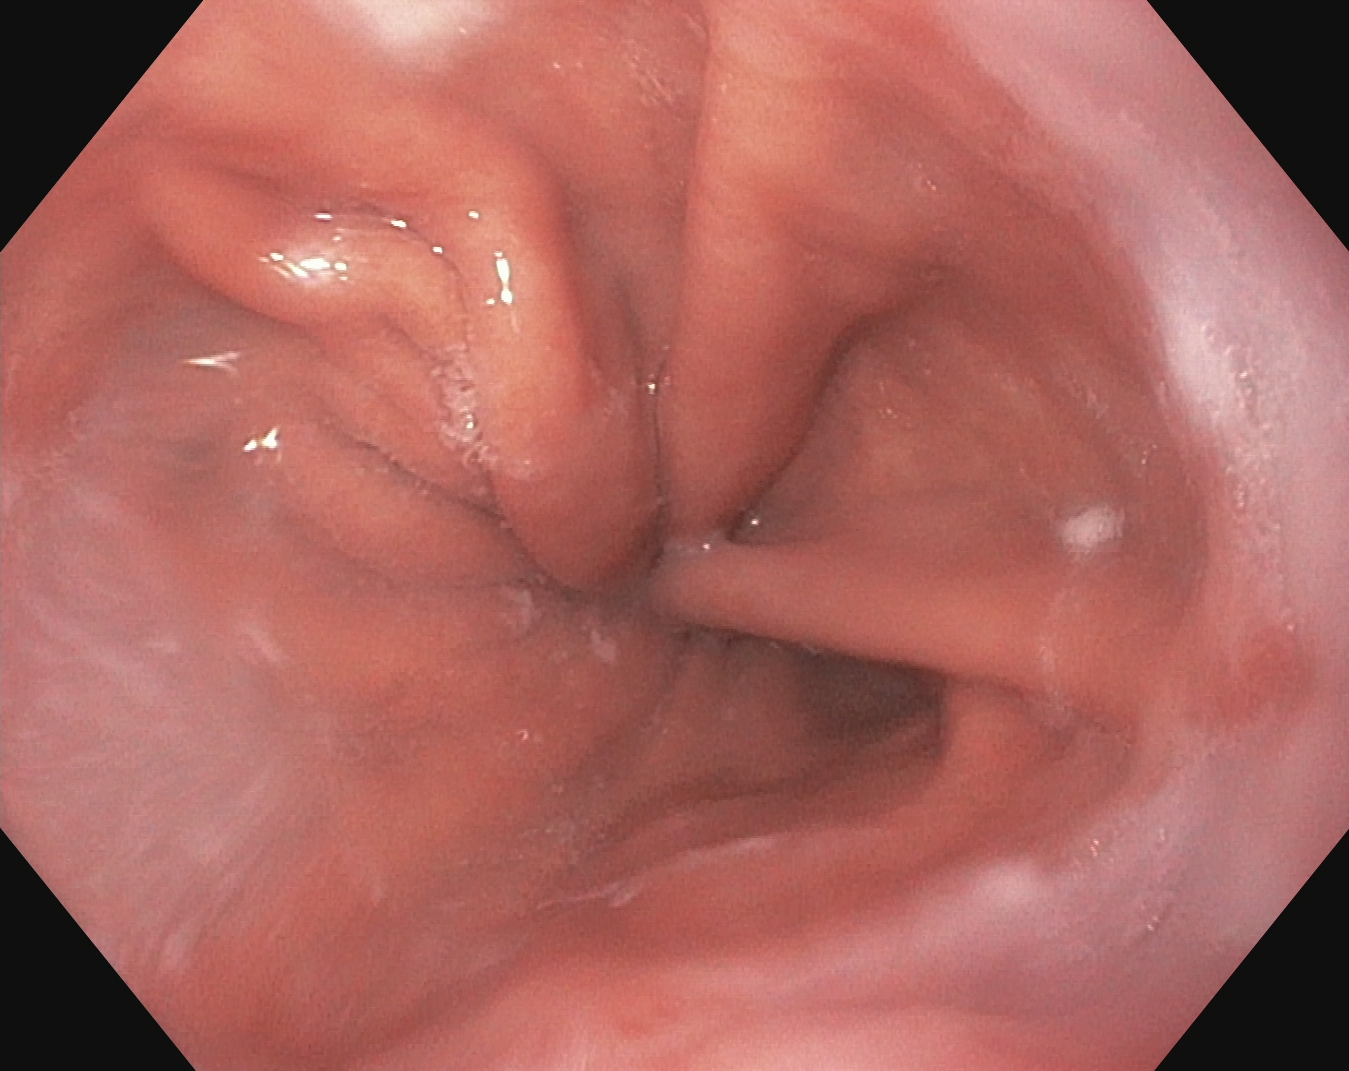Z-line (gastroesophageal junction).